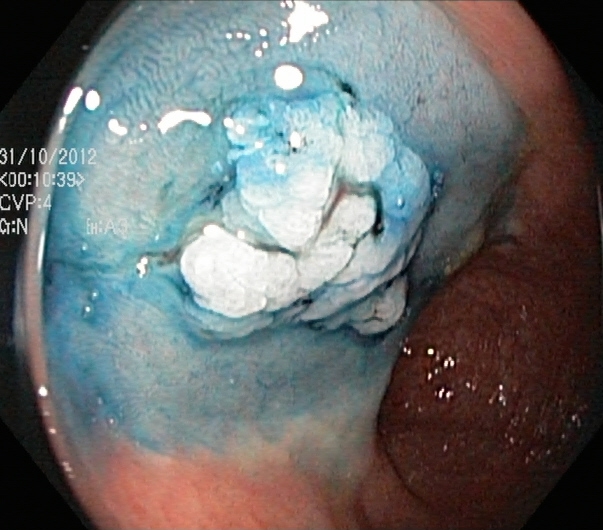Dyed and lifted polyp (pre-resection).